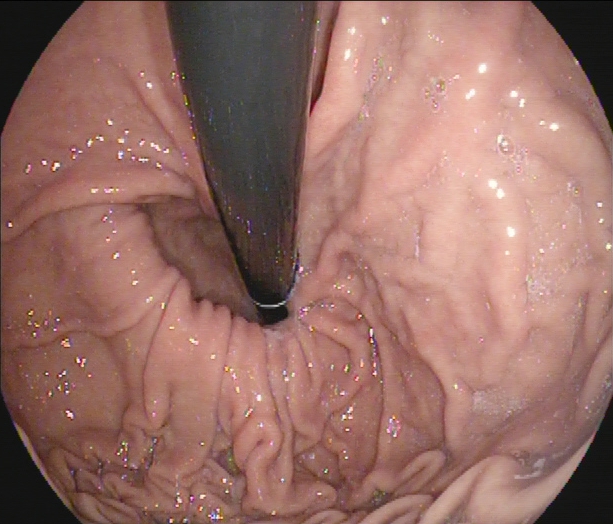Gastroscopy. Tract: upper GI tract. Anatomical landmark. Finding: stomach in retroflexion.